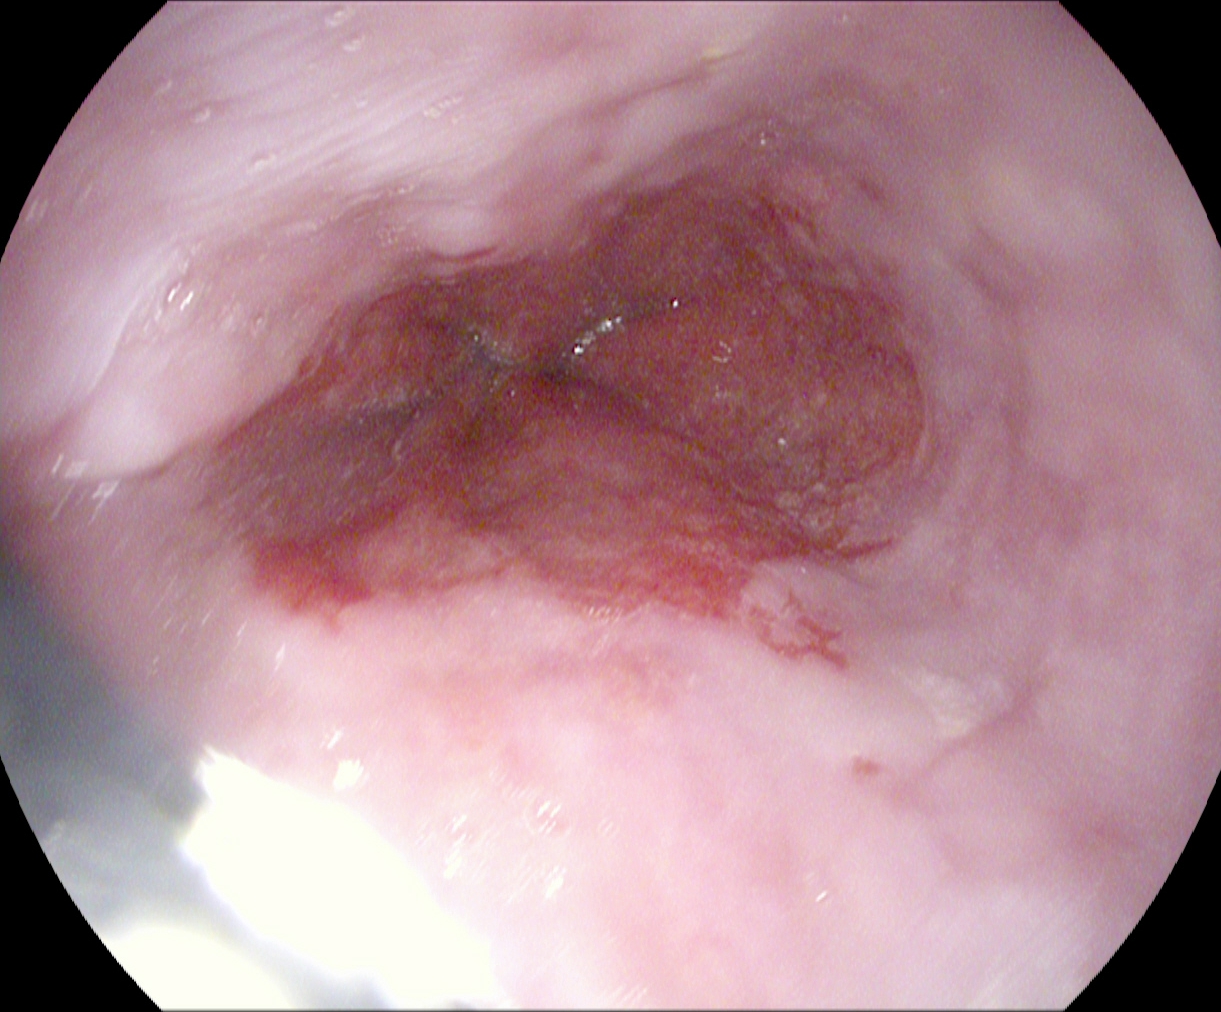PROCEDURE: EGD.
FINDINGS: Reflux esophagitis, Los Angeles grade A.